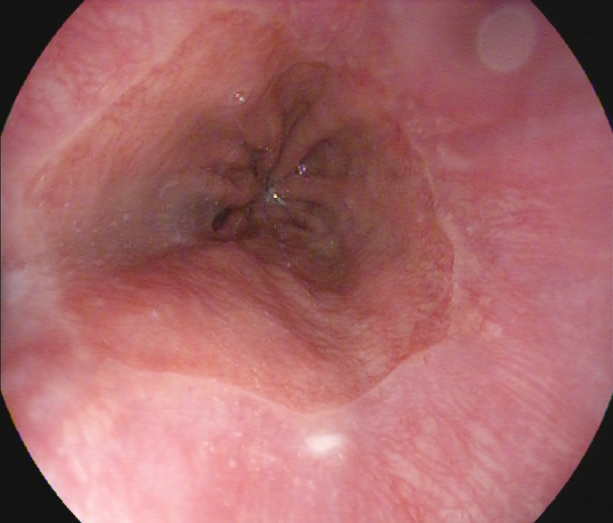Z-line (gastroesophageal junction).